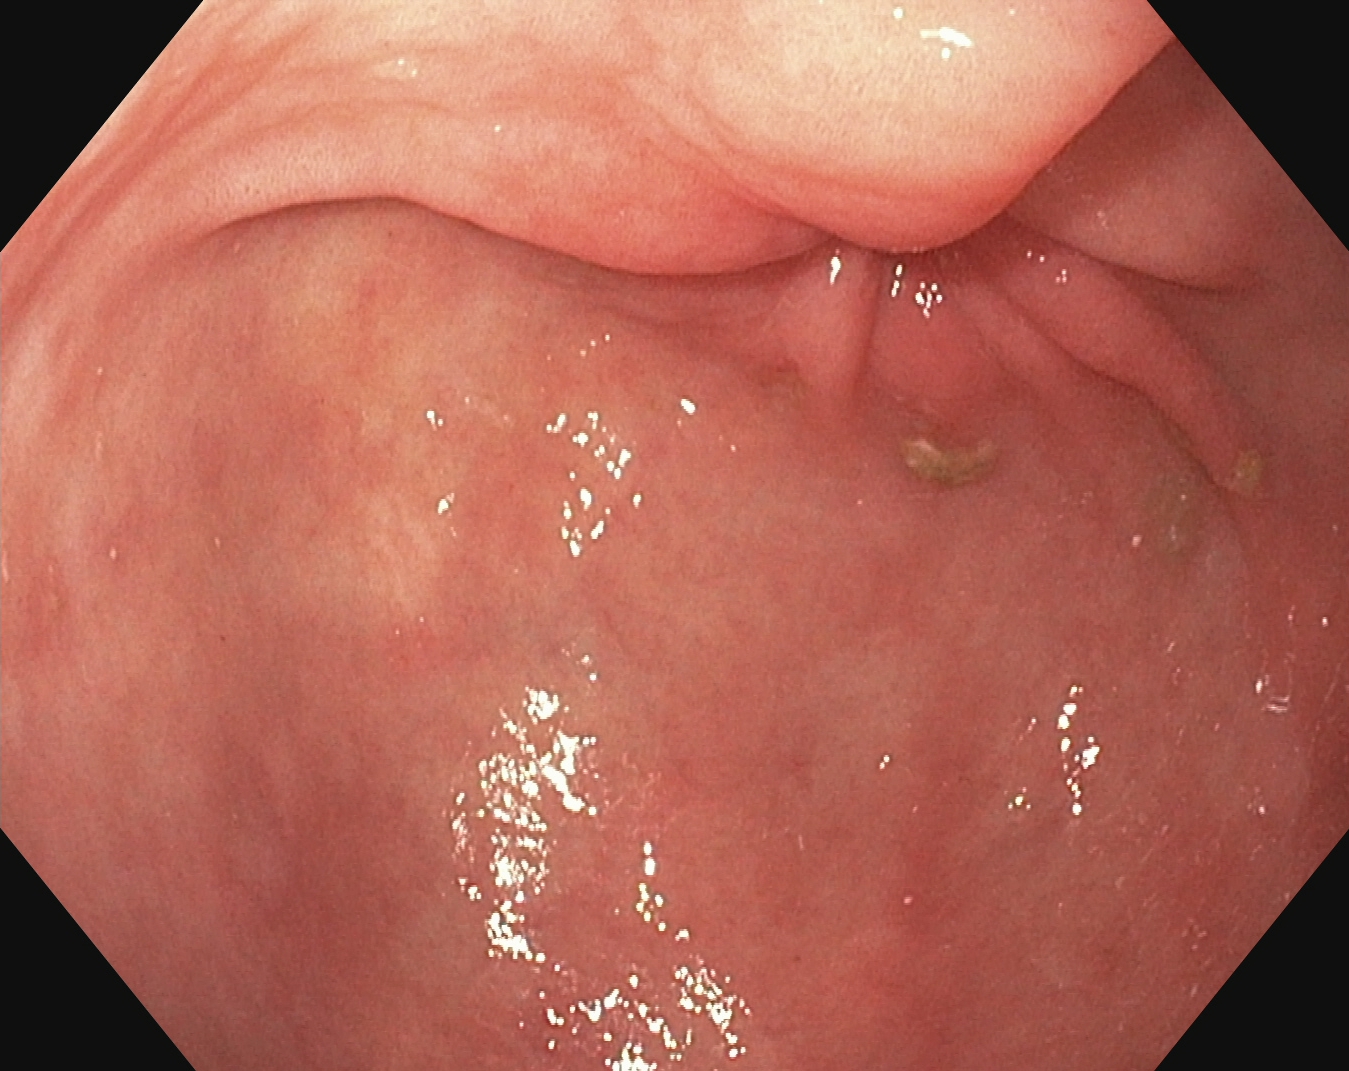Esophagogastroduodenoscopy. Finding: pylorus.